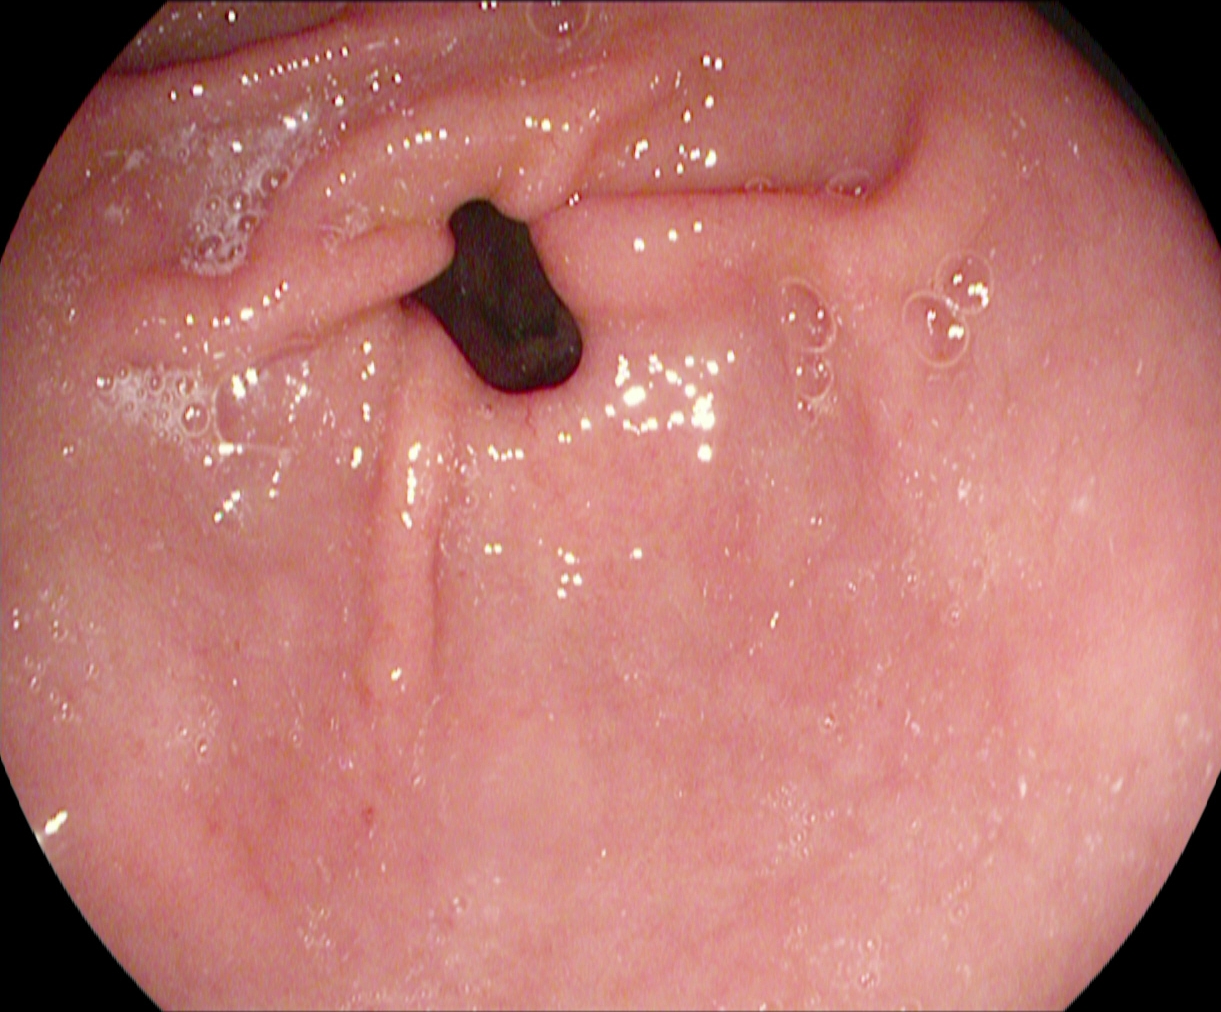Gastroscopy image showing pylorus.